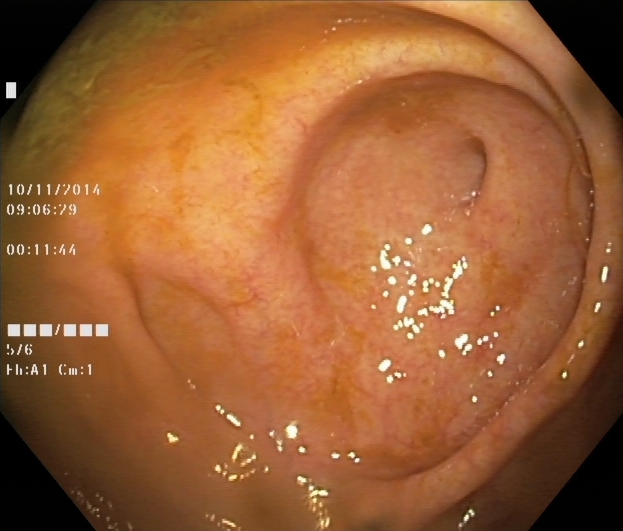Endoscopic image showing cecum.